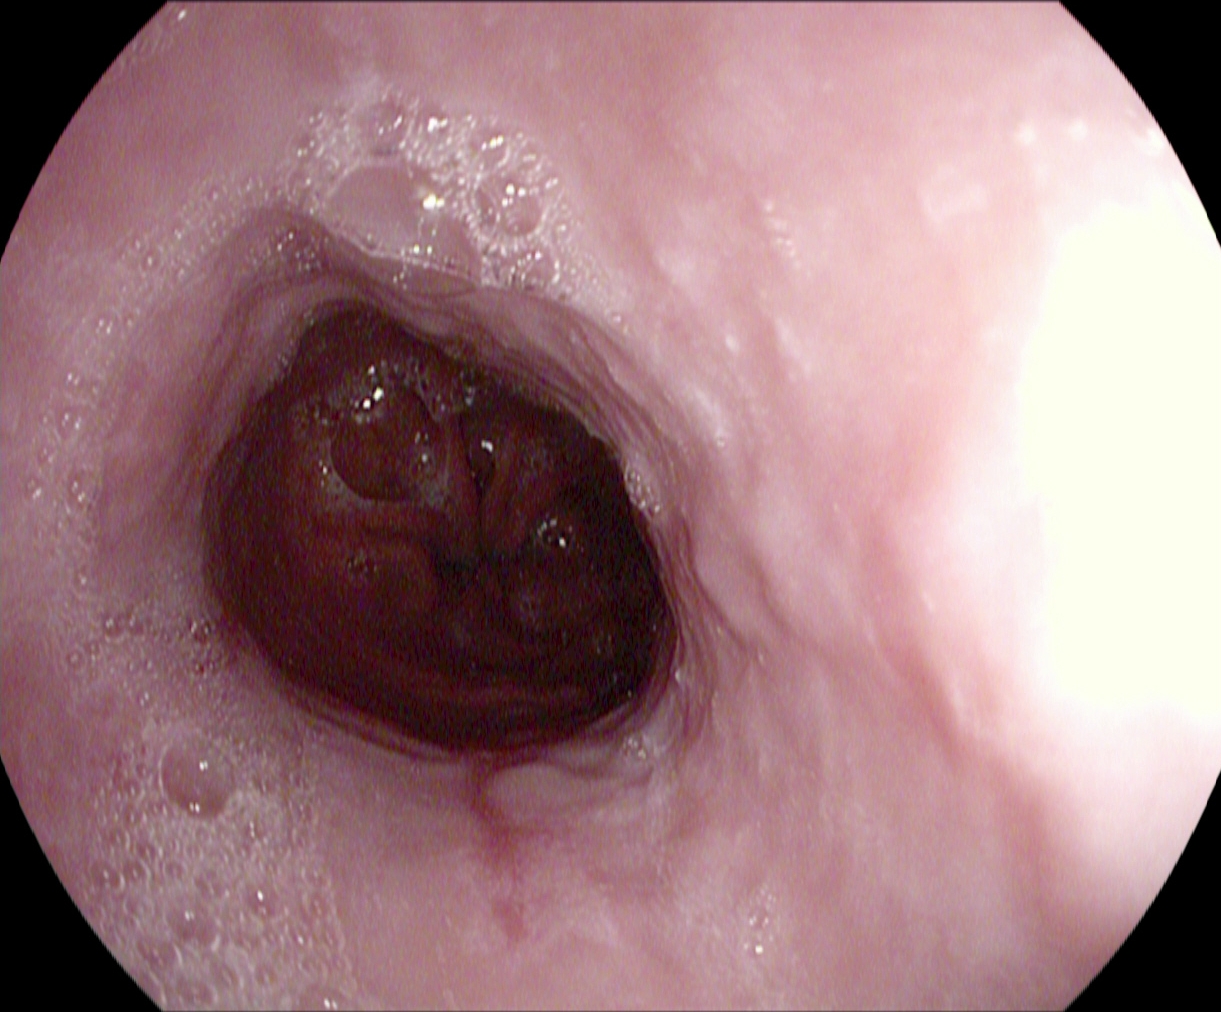PROCEDURE: Gastroscopy.
CATEGORY: Pathological finding.
FINDINGS: Reflux esophagitis, Los Angeles grade A.